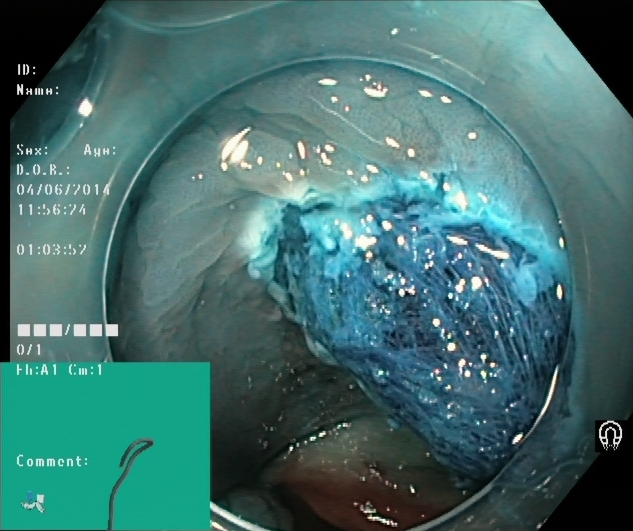Lower gastrointestinal endoscopy. Tract: lower GI tract. Therapeutic intervention. Finding: dyed resection margins (post-polypectomy).